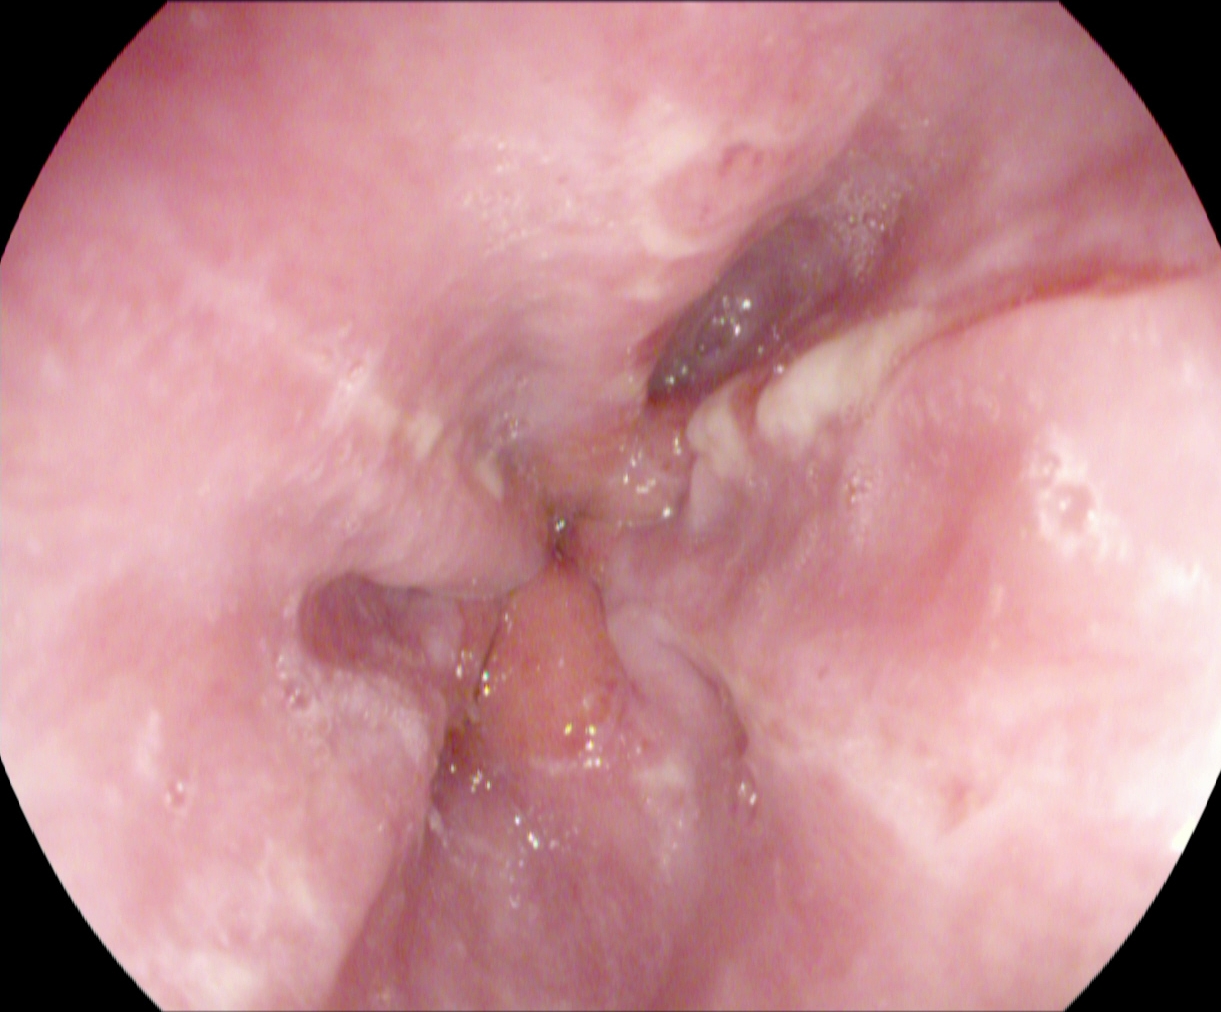modality: upper-GI endoscopy; tract: upper GI tract; finding: reflux esophagitis, Los Angeles grade B–D